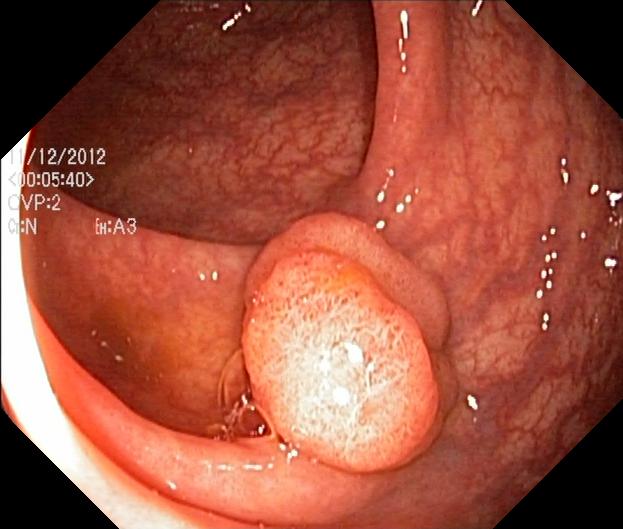colorectal polyp(s).